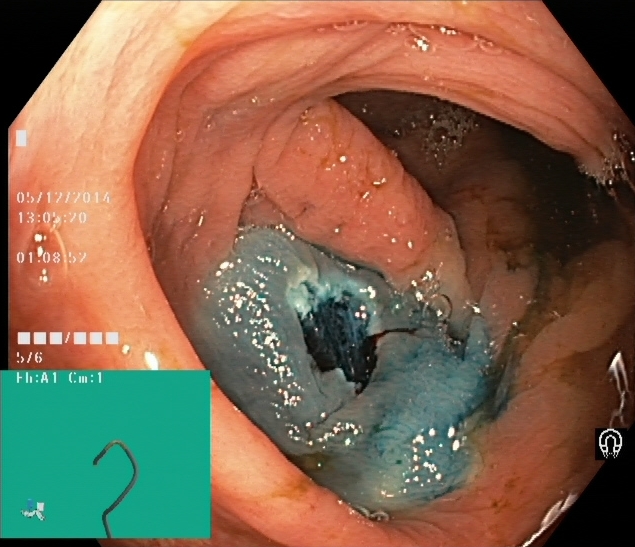Gastrointestinal endoscopy image of the lower GI tract showing dyed resection margins (post-polypectomy).